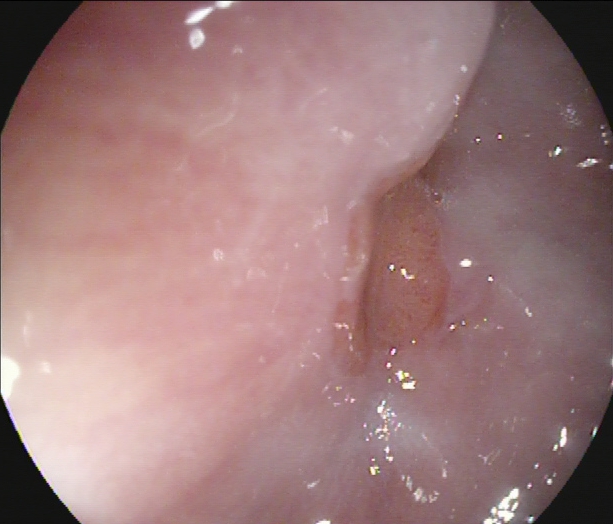{"modality": "gastroscopy", "tract": "upper GI tract", "category": "anatomical landmark", "finding": "Z-line (gastroesophageal junction)"}